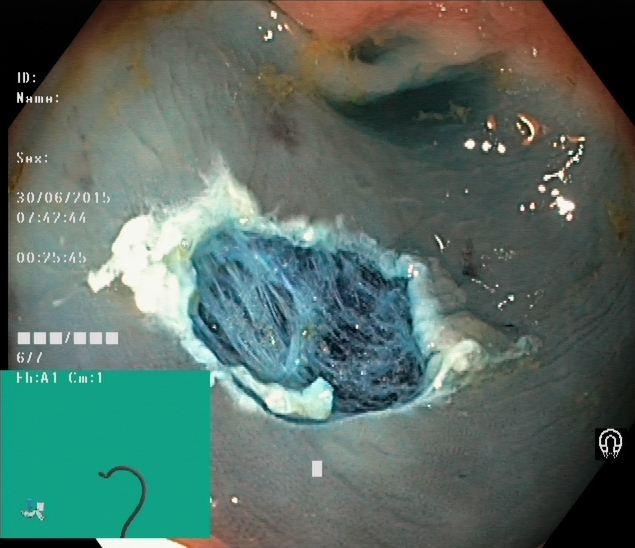This endoscopy frame shows dyed resection margins (post-polypectomy).